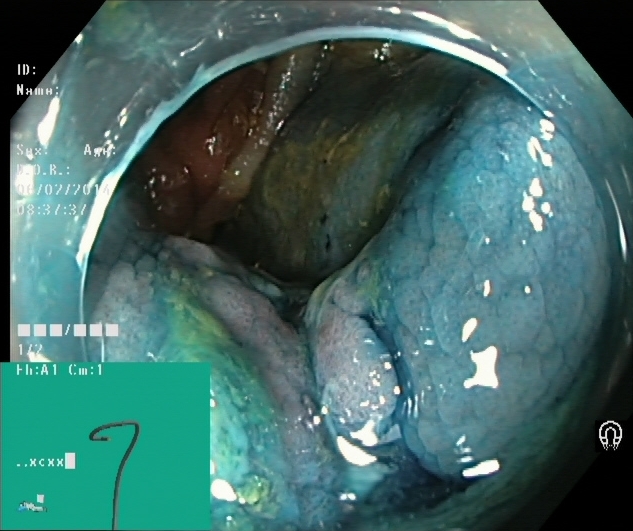modality: lower gastrointestinal endoscopy; finding: dyed and lifted polyp (pre-resection)